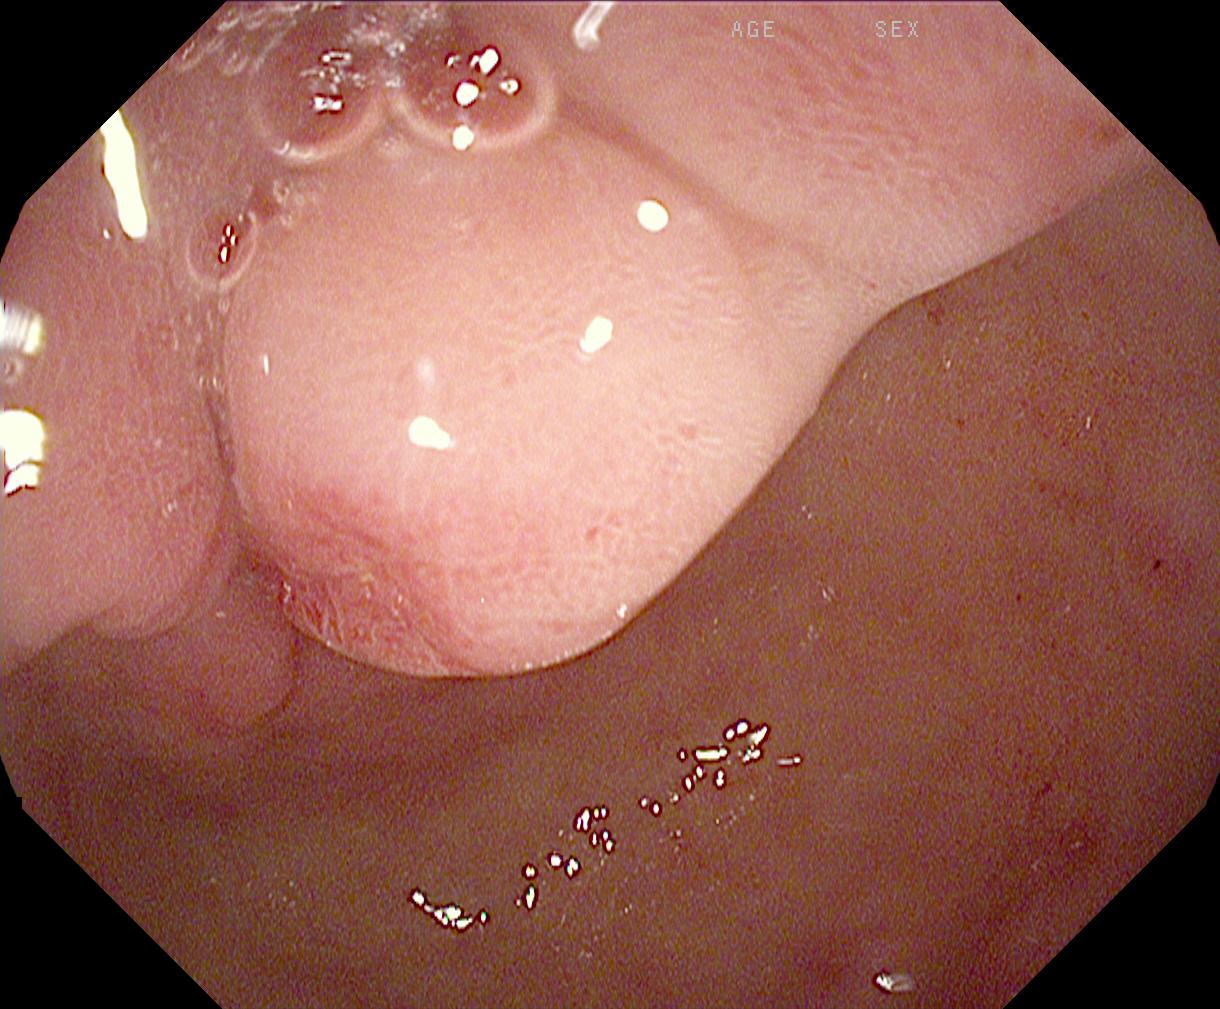modality: colonoscopy | tract: lower GI tract | finding: colorectal polyp(s)